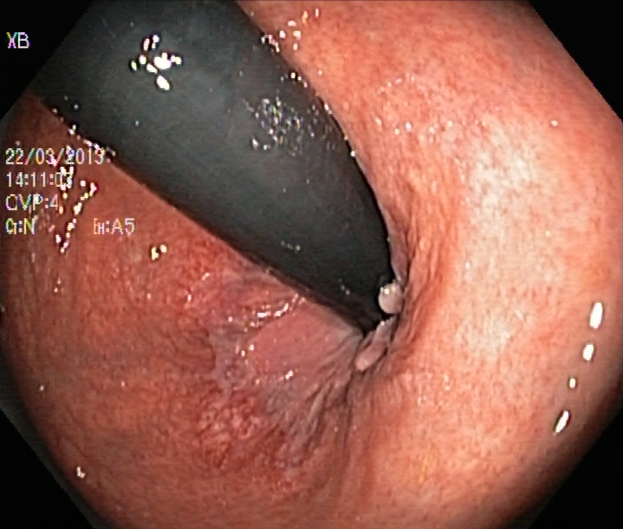Lower gastrointestinal endoscopy. Tract: lower GI tract. Anatomical landmark. Finding: rectum in retroflexion.